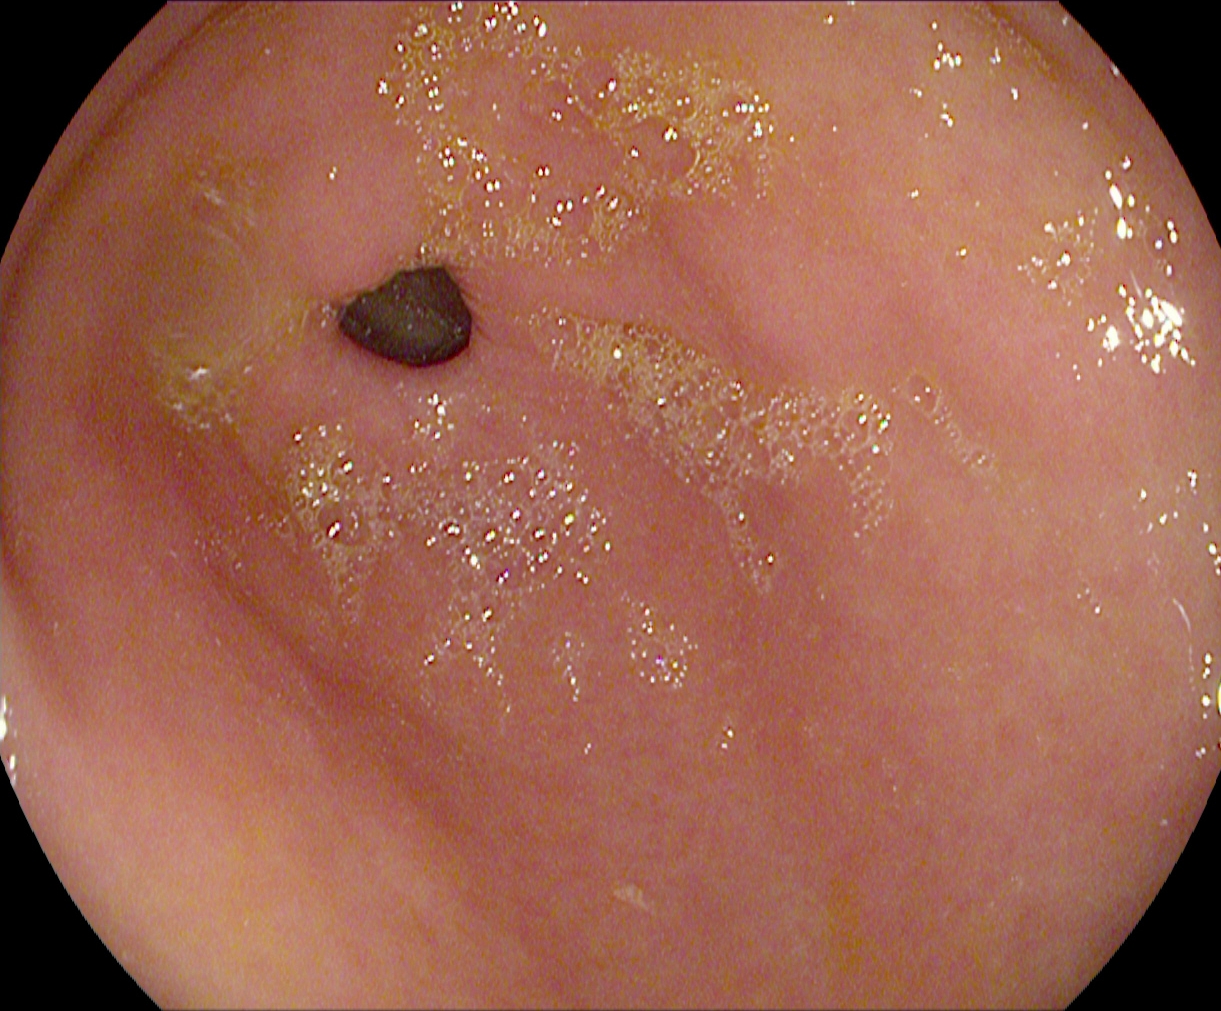{"modality": "esophagogastroduodenoscopy", "category": "anatomical landmark", "finding": "pylorus"}